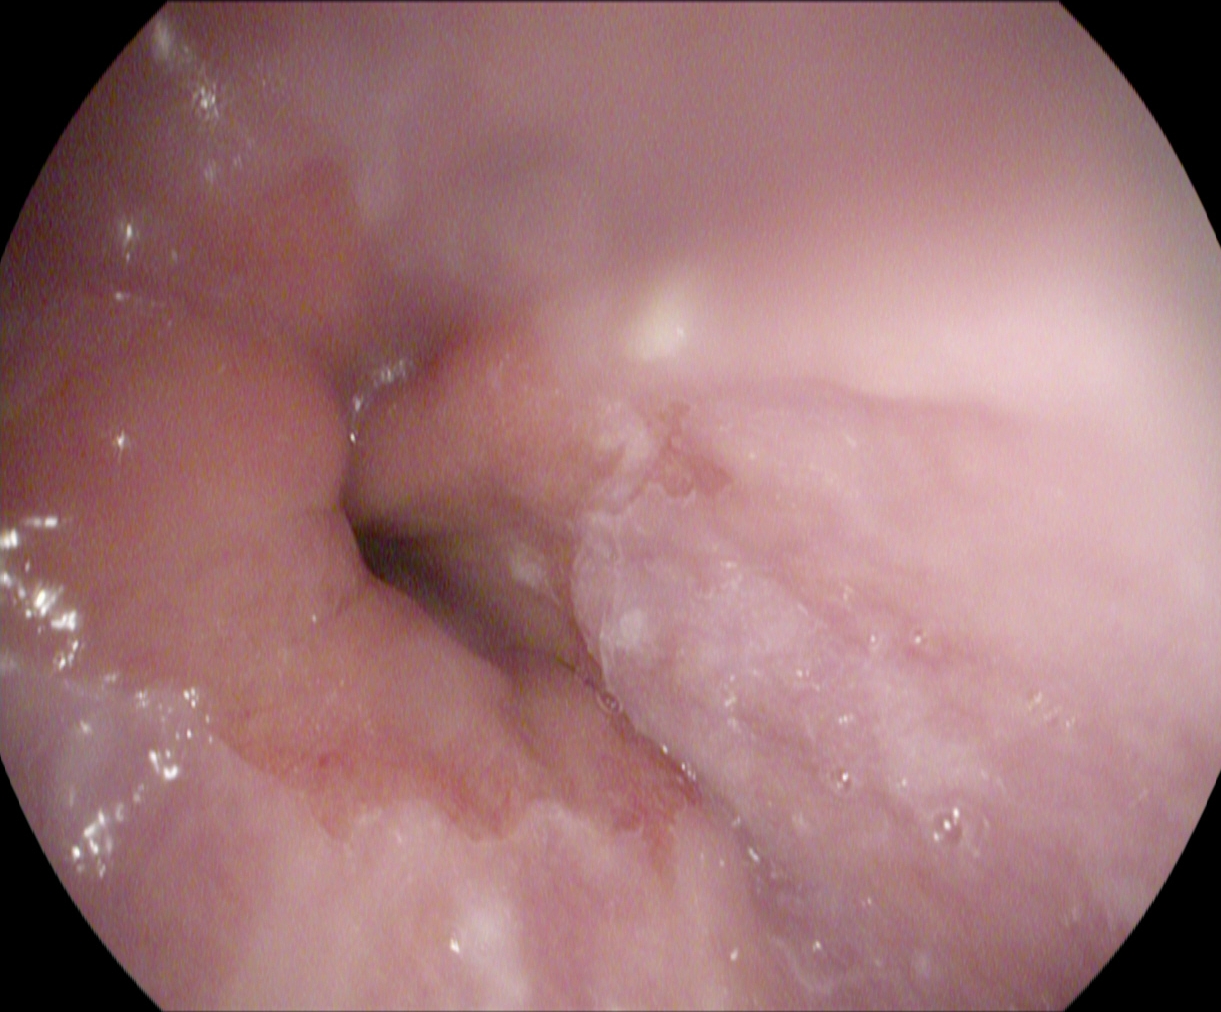Esophagogastroduodenoscopy. Tract: upper GI tract. Anatomical landmark. Finding: Z-line (gastroesophageal junction).